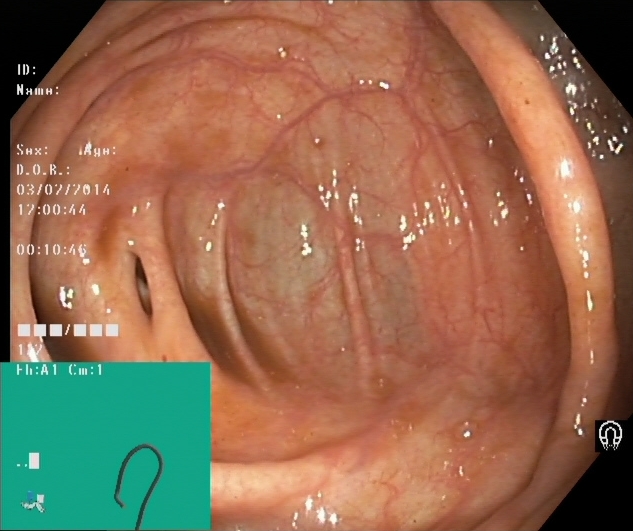PROCEDURE: Lower-GI endoscopy.
CATEGORY: Anatomical landmark.
FINDINGS: Cecum.